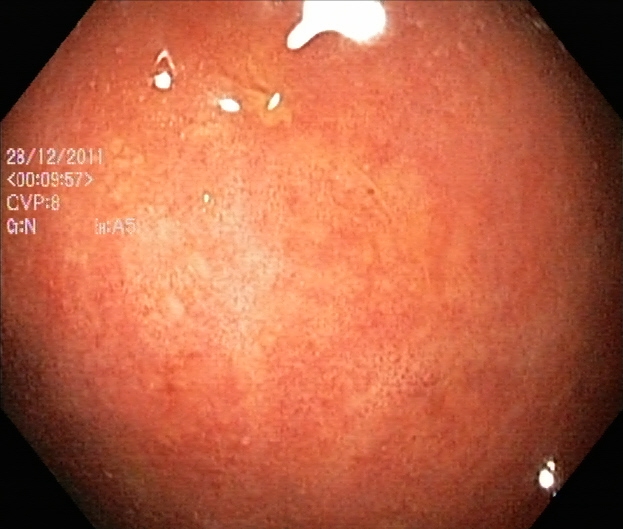Lower gastrointestinal endoscopy. Finding: ulcerative colitis, Mayo endoscopic subscore 2.